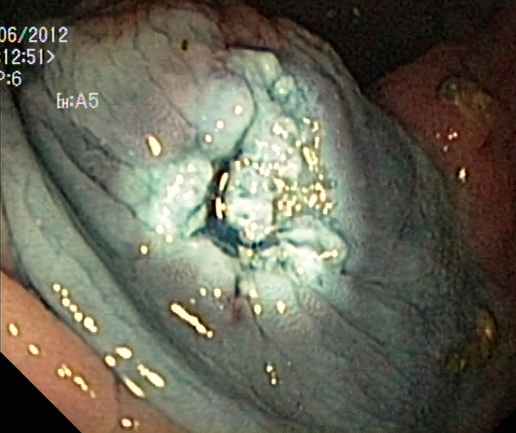Lower gastrointestinal endoscopy — dyed resection margins (post-polypectomy).